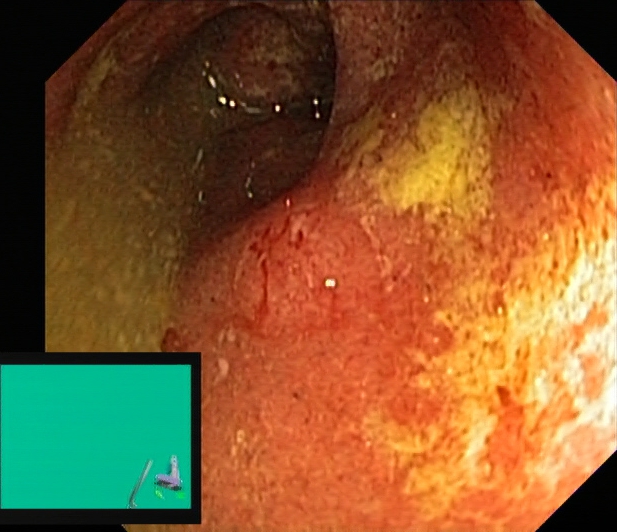PROCEDURE: Colonoscopy.
CATEGORY: Pathological finding.
FINDINGS: Ulcerative colitis, Mayo endoscopic subscore 2.